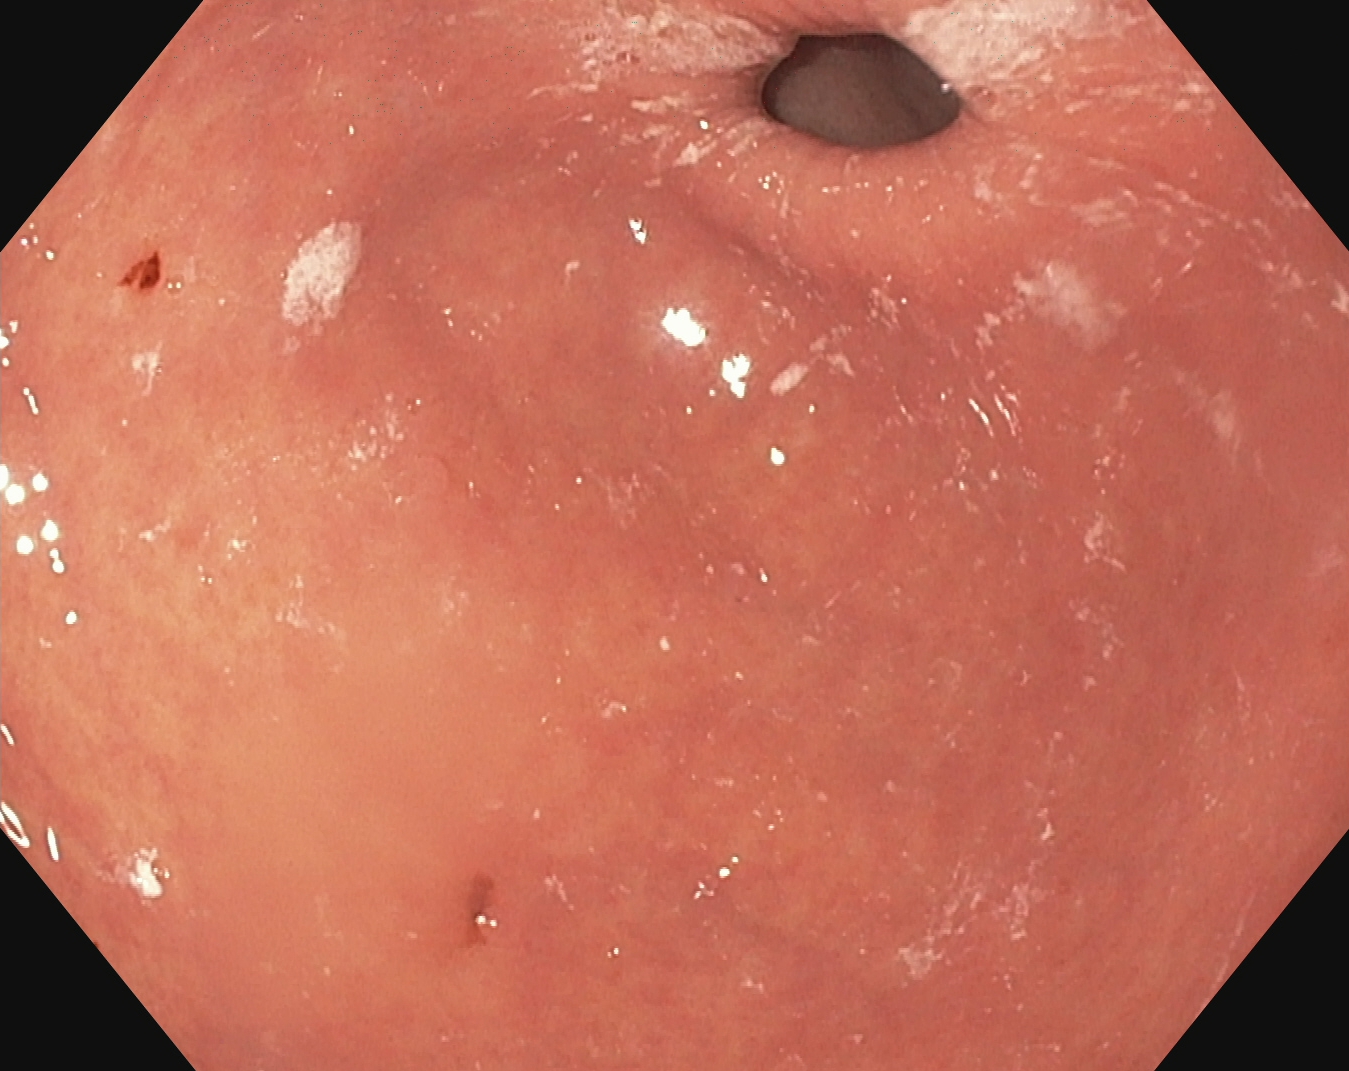modality: EGD | finding: pylorus